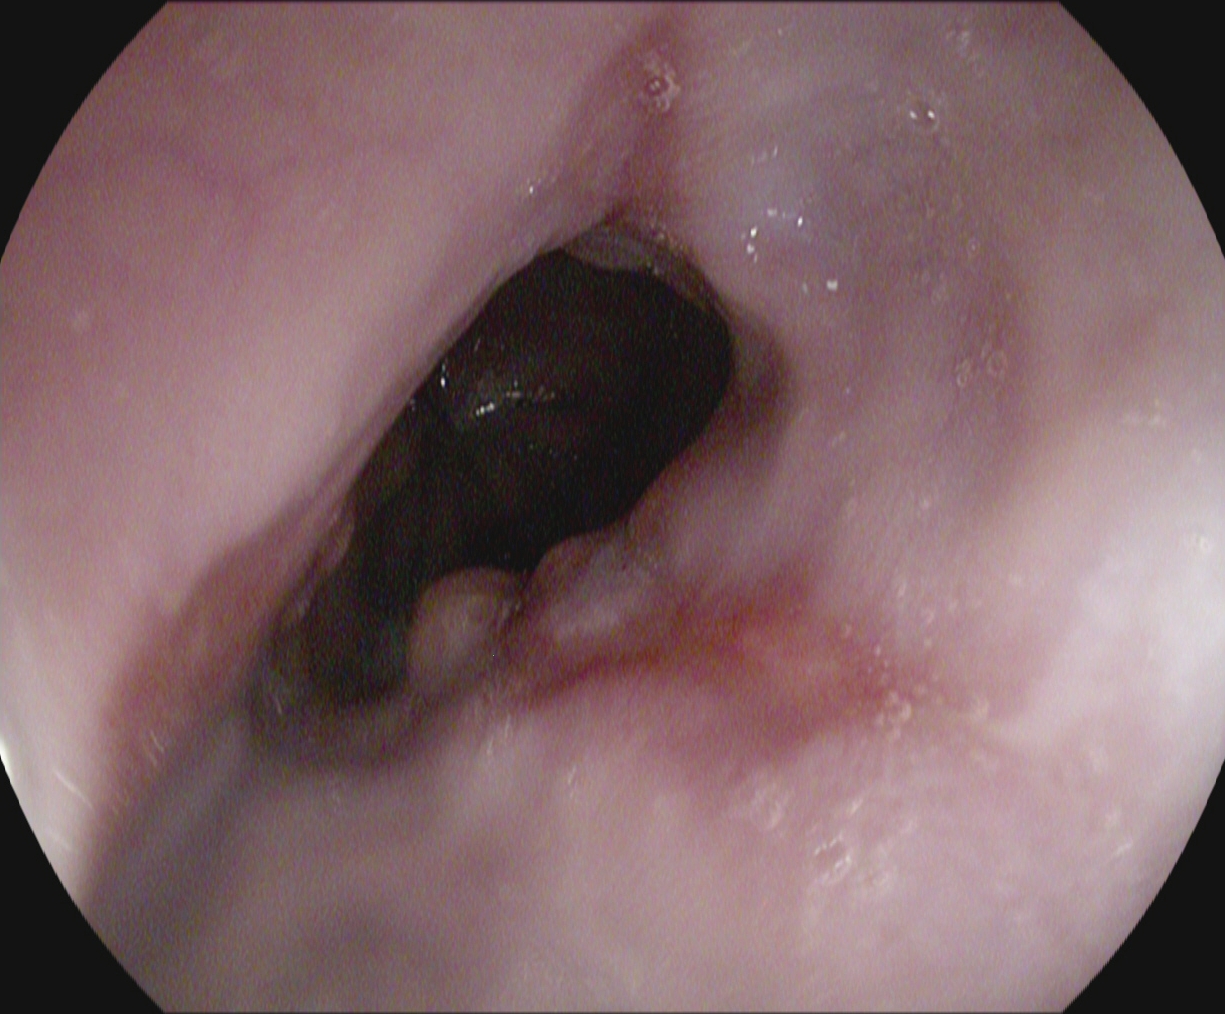Esophagogastroduodenoscopy — reflux esophagitis, Los Angeles grade B–D.